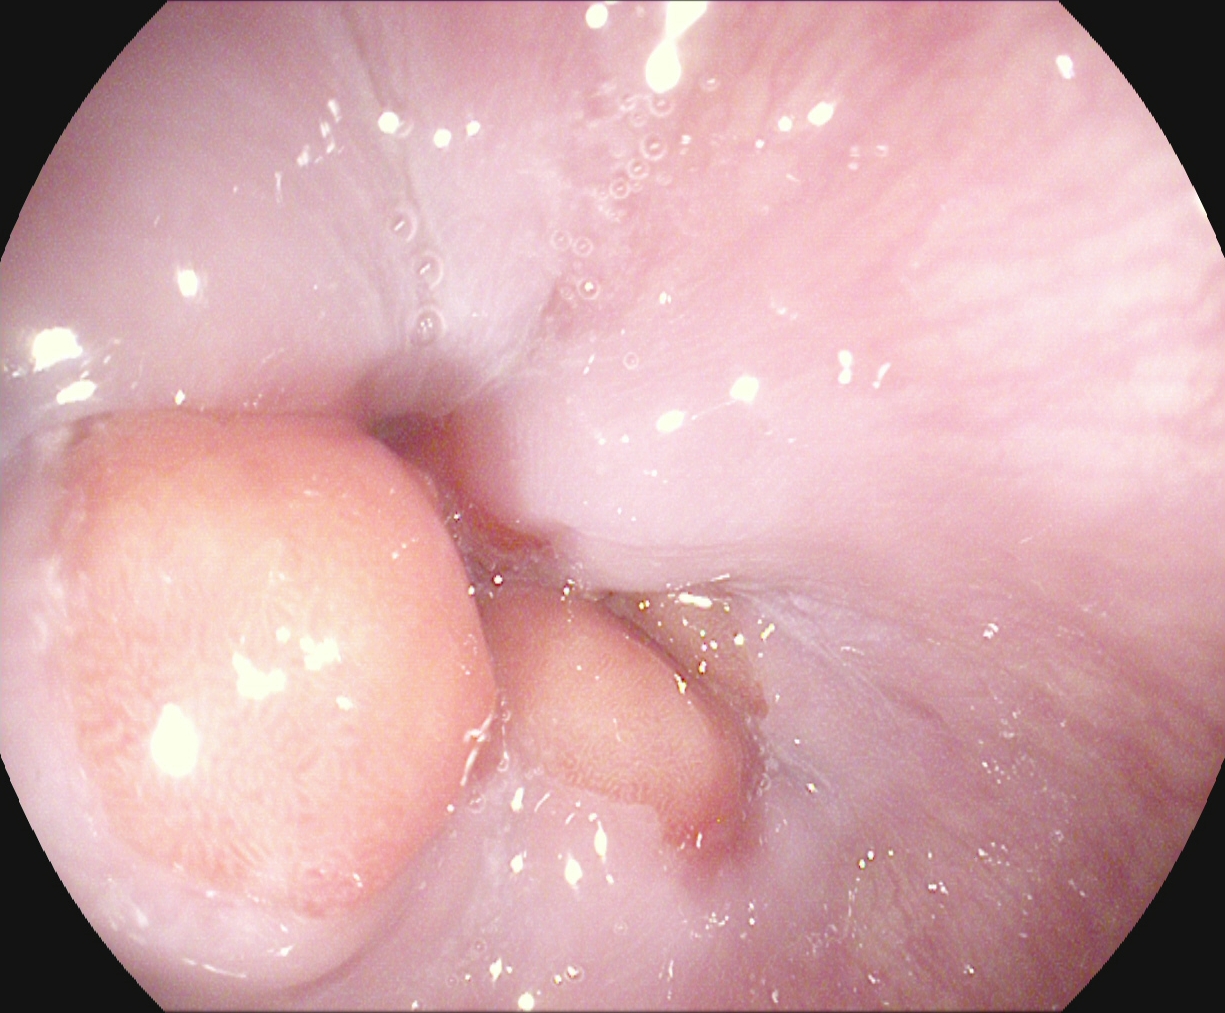This endoscopy frame of the upper GI tract shows Z-line (gastroesophageal junction).